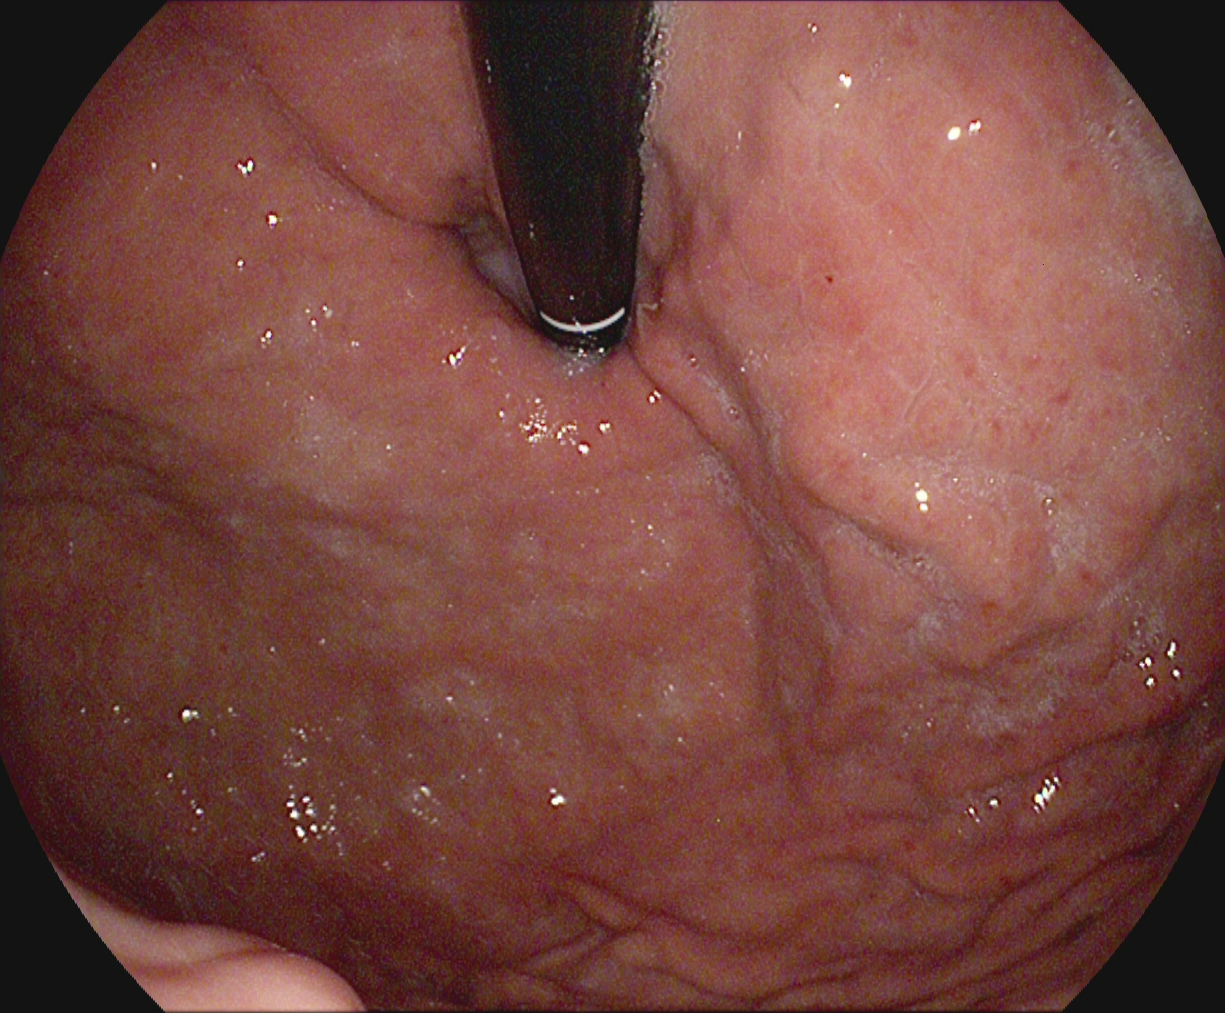PROCEDURE: EGD.
CATEGORY: Anatomical landmark.
FINDINGS: Stomach in retroflexion.